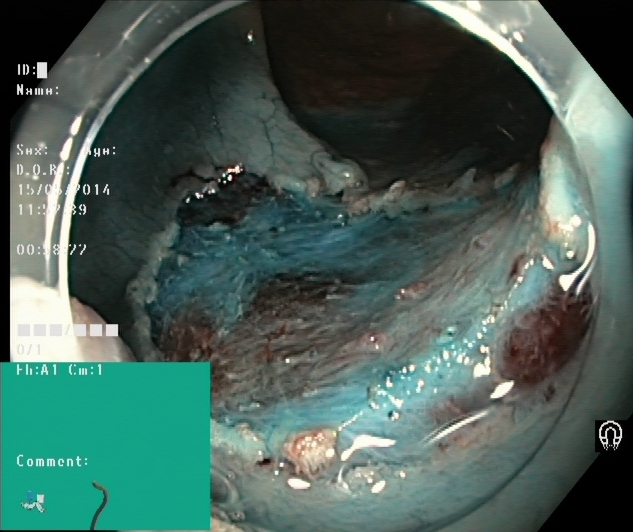This endoscopic image of the lower GI tract shows dyed resection margins (post-polypectomy).